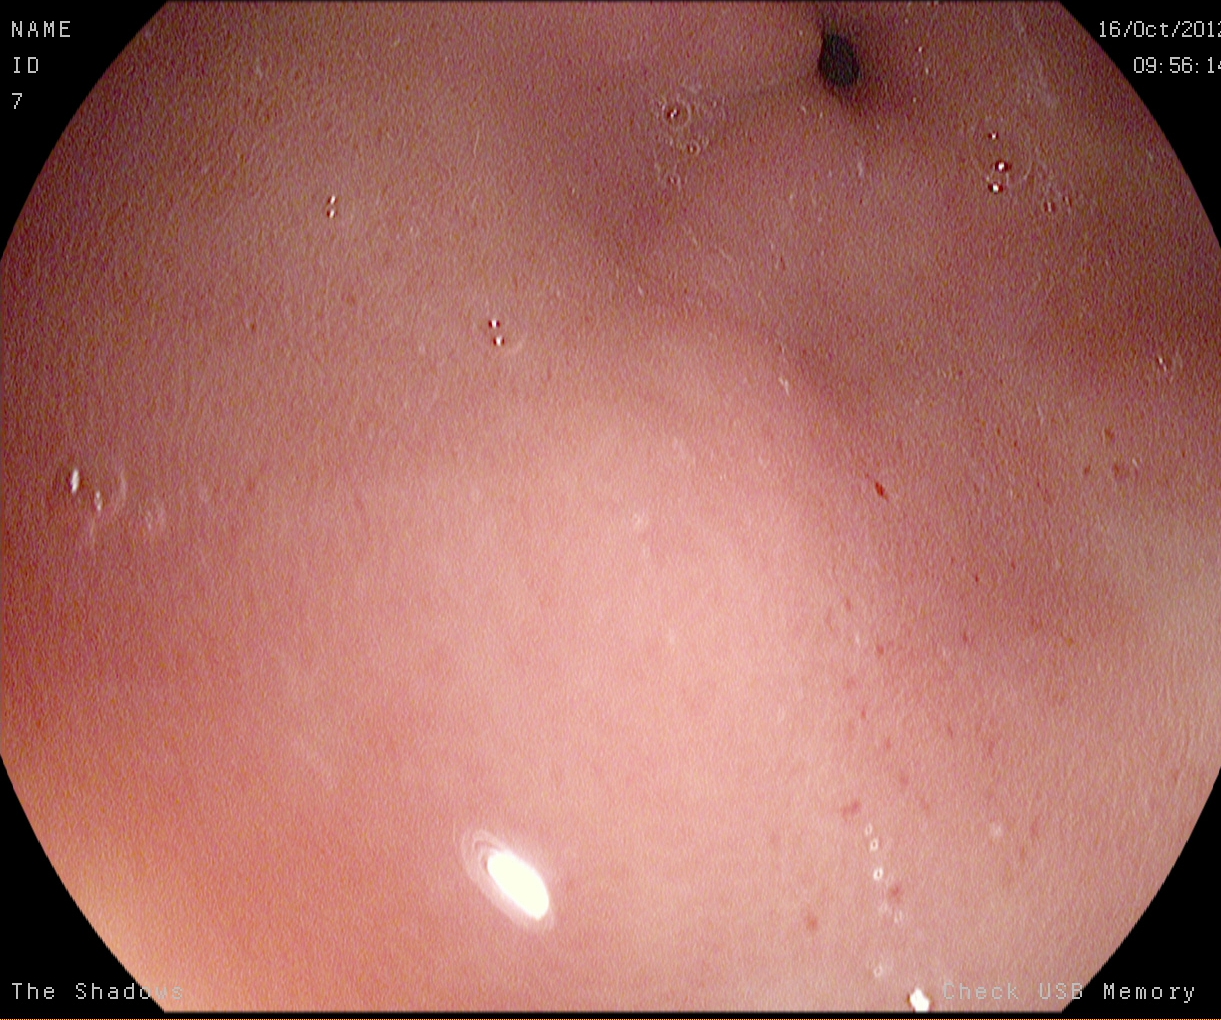Endoscopy image of the upper GI tract showing pylorus.